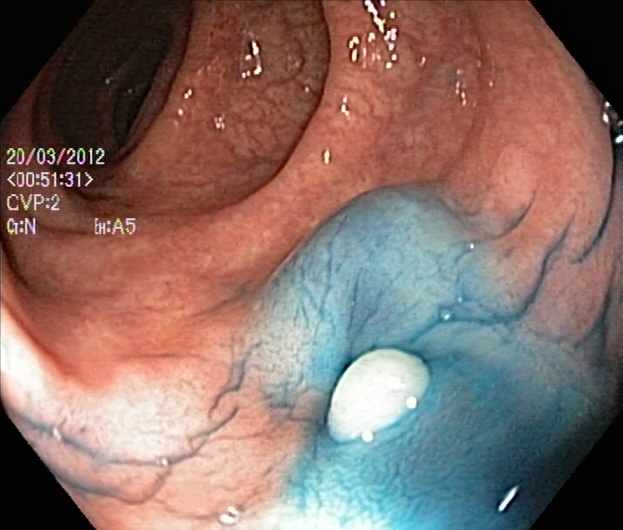dyed and lifted polyp (pre-resection).